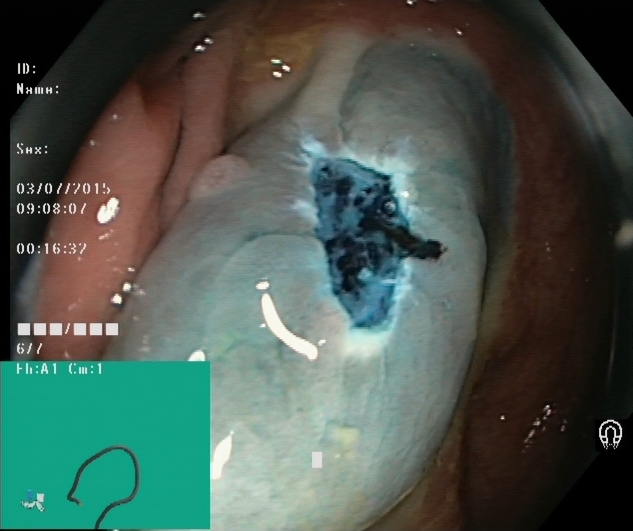Colonoscopy — dyed resection margins (post-polypectomy).